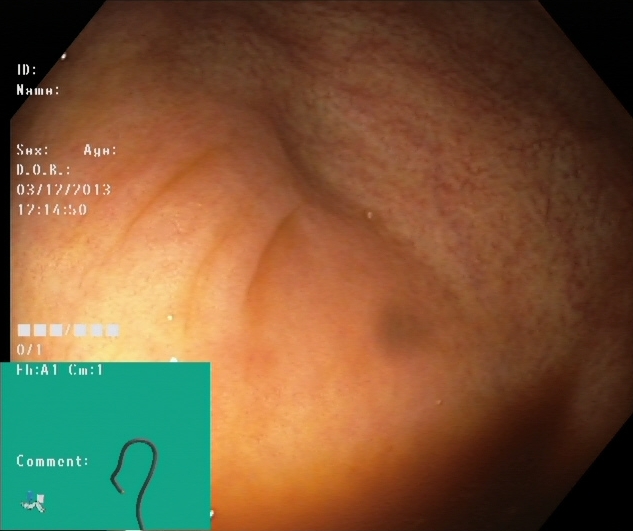Lower gastrointestinal endoscopy — cecum.